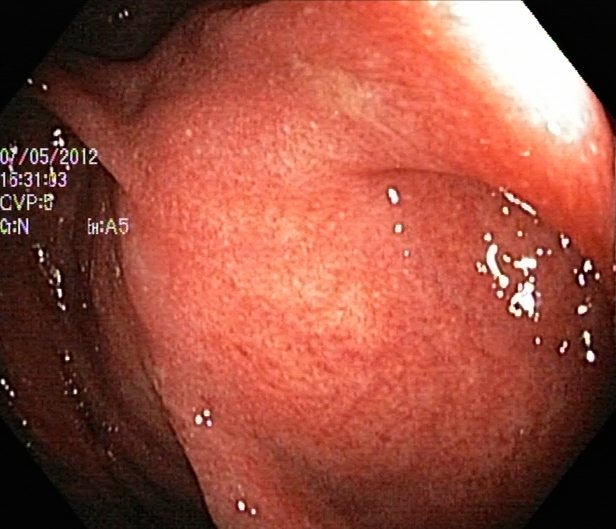{"modality": "lower gastrointestinal endoscopy", "tract": "lower GI tract", "finding": "ulcerative colitis, Mayo endoscopic subscore 2"}